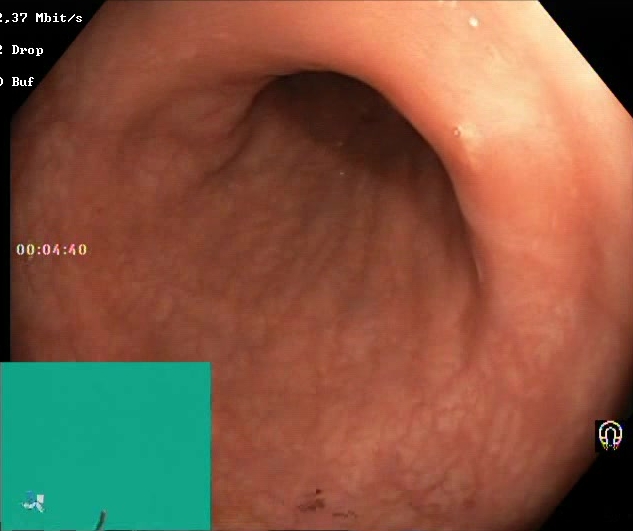Boston Bowel Preparation Scale score 2–3 (adequate preparation).